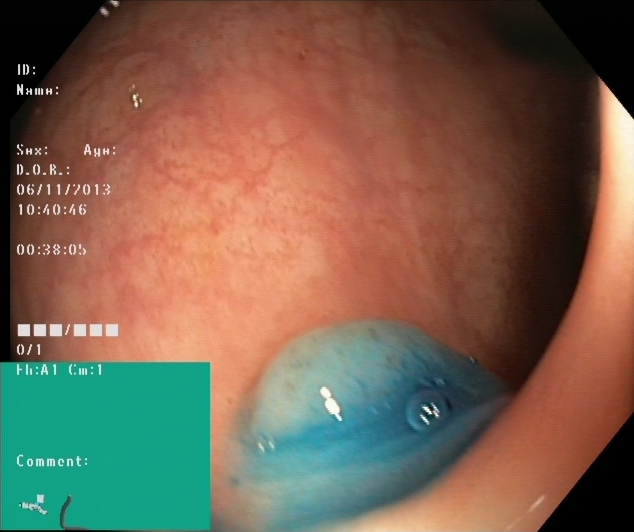modality: colonoscopy
category: therapeutic intervention
finding: dyed and lifted polyp (pre-resection)